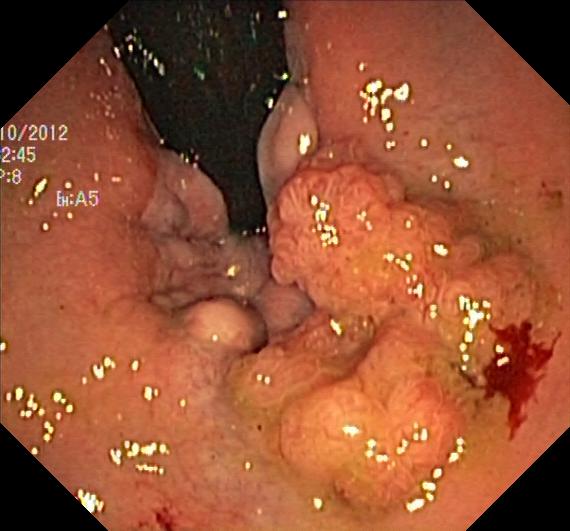Colorectal polyp(s).